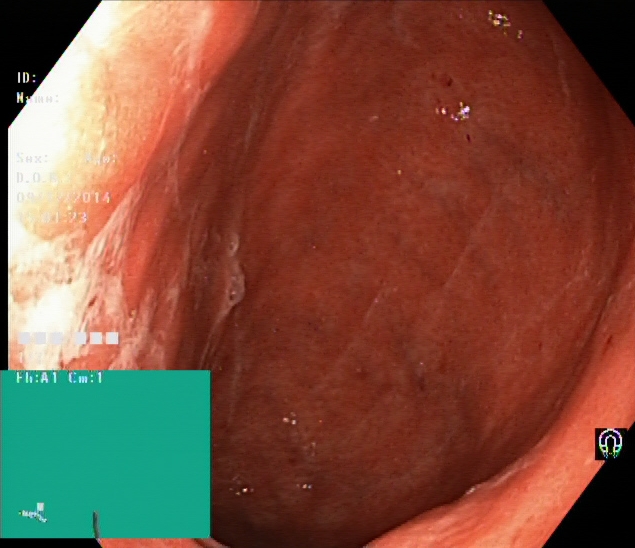Ulcerative colitis, Mayo endoscopic subscore 2.